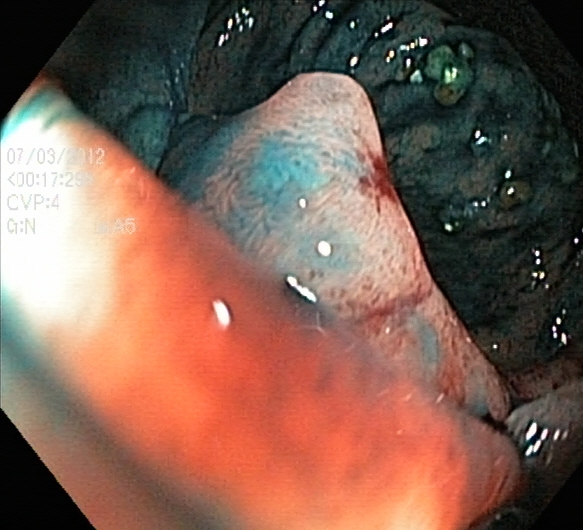This endoscopy frame of the lower GI tract shows dyed and lifted polyp (pre-resection).